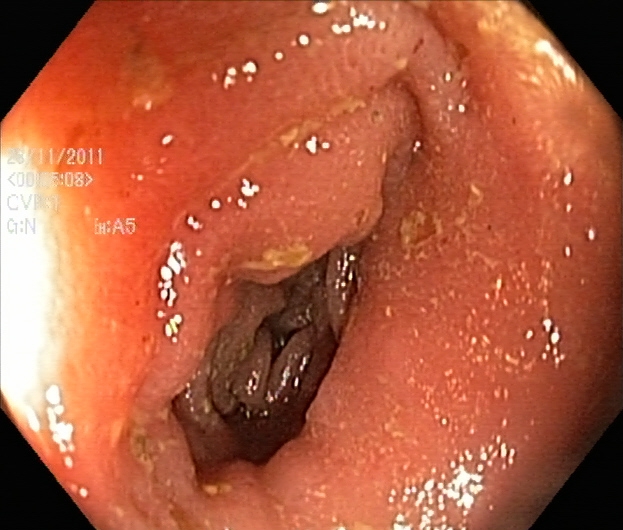Lower-GI endoscopy. Finding: ulcerative colitis, Mayo endoscopic subscore 1.